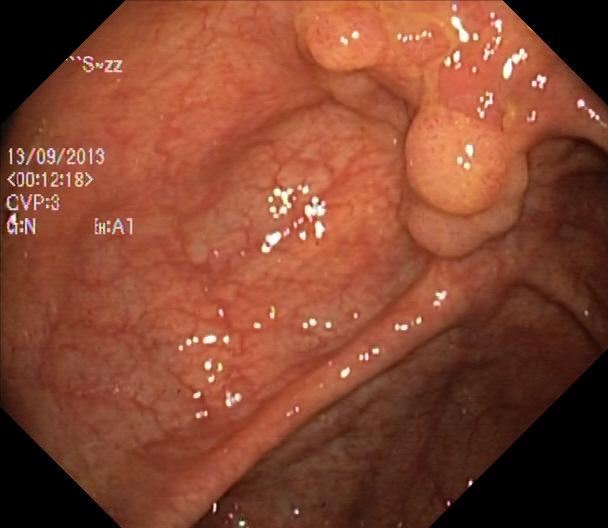Colorectal polyp(s).